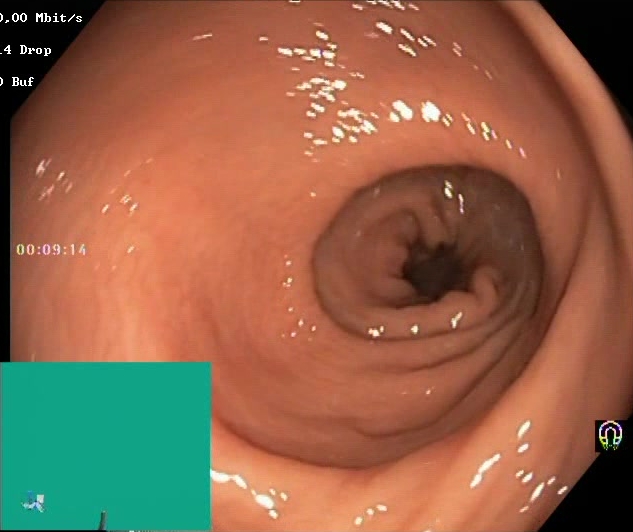{"modality": "lower-GI endoscopy", "tract": "lower GI tract", "finding": "BBPS score 2\u20133 (adequate preparation)"}